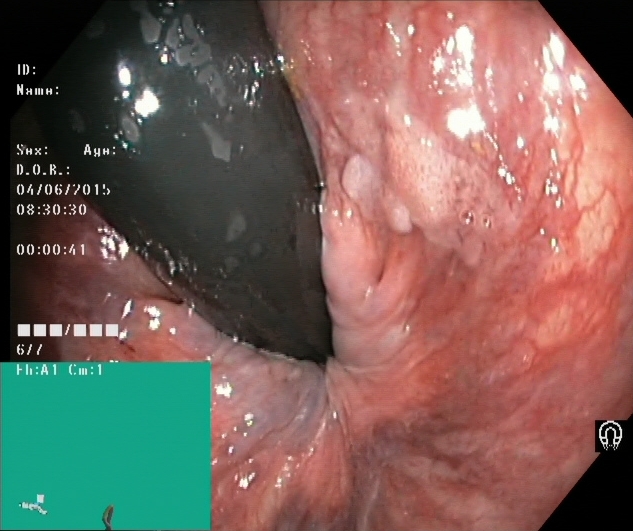{"modality": "lower gastrointestinal endoscopy", "category": "anatomical landmark", "finding": "rectum in retroflexion"}